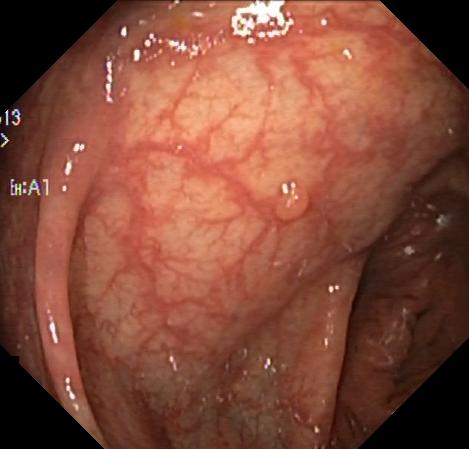This endoscopy frame shows colorectal polyp(s).